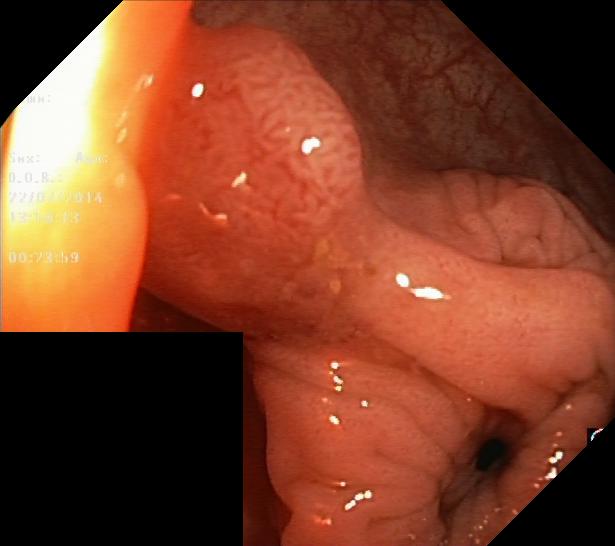This endoscopy frame of the lower GI tract shows colorectal polyp(s).